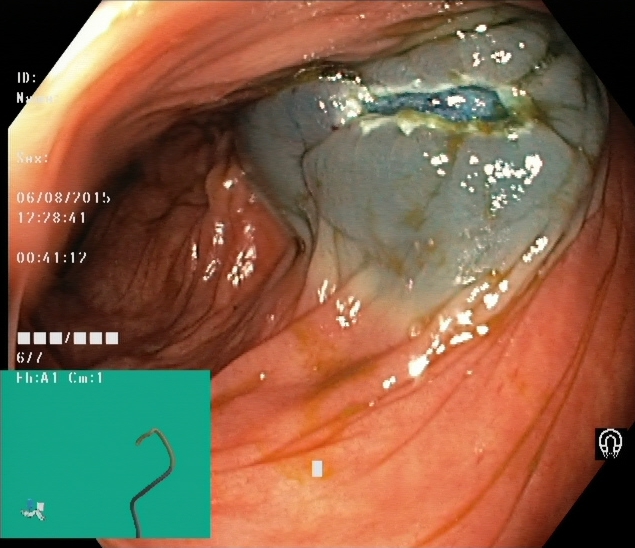PROCEDURE: Lower-GI endoscopy.
FINDINGS: Dyed resection margins (post-polypectomy).